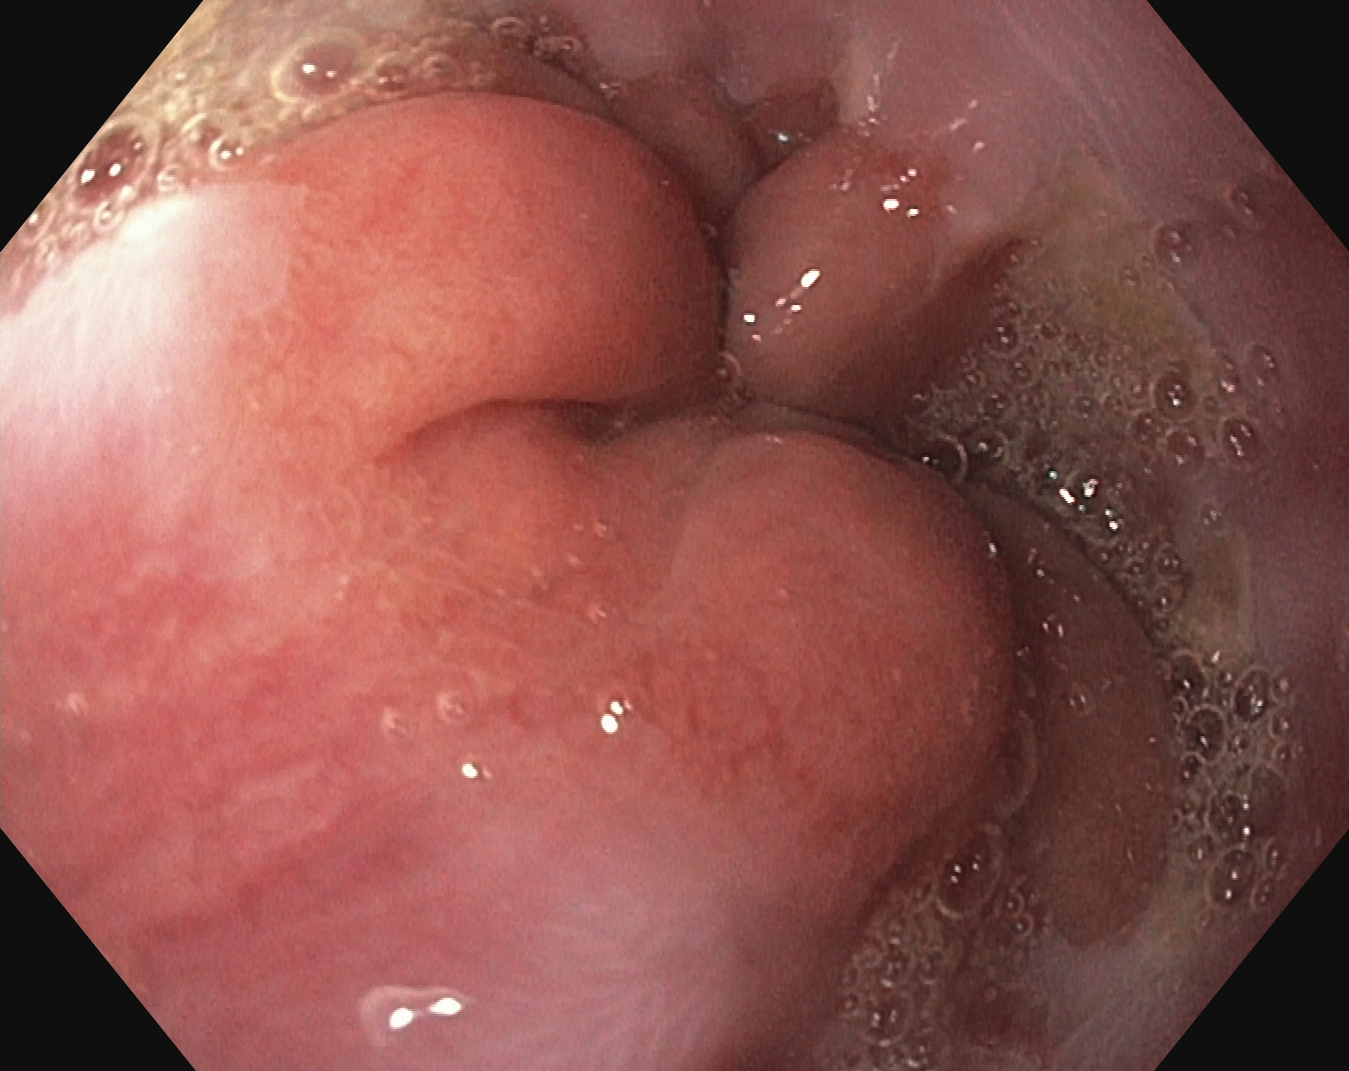This endoscopy frame shows Z-line (gastroesophageal junction).